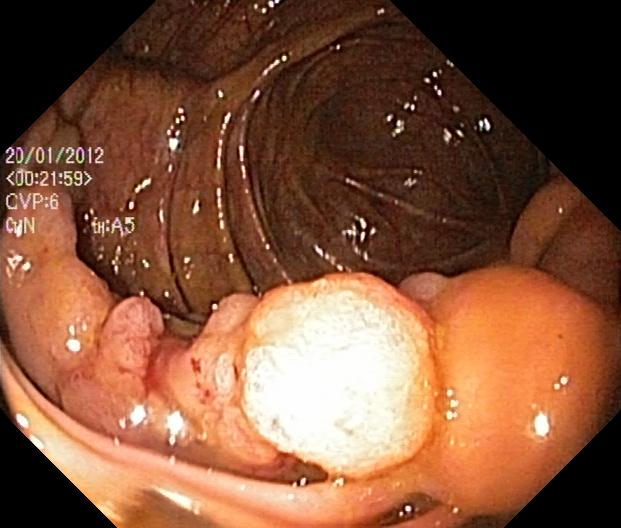Colorectal polyp(s).